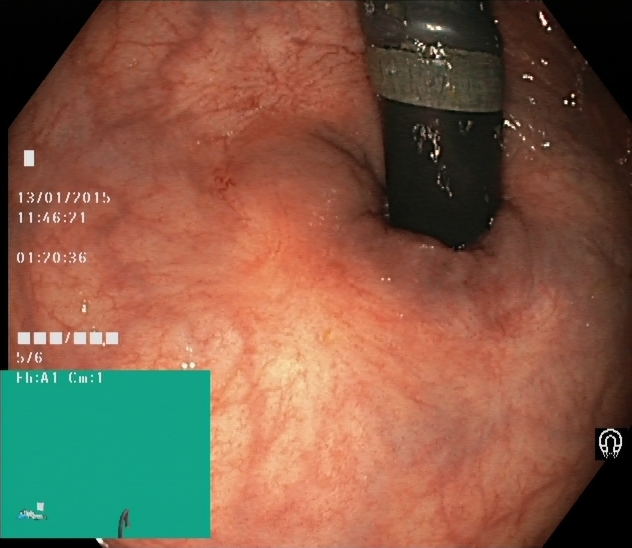{"modality": "lower-GI endoscopy", "category": "anatomical landmark", "finding": "rectum in retroflexion"}